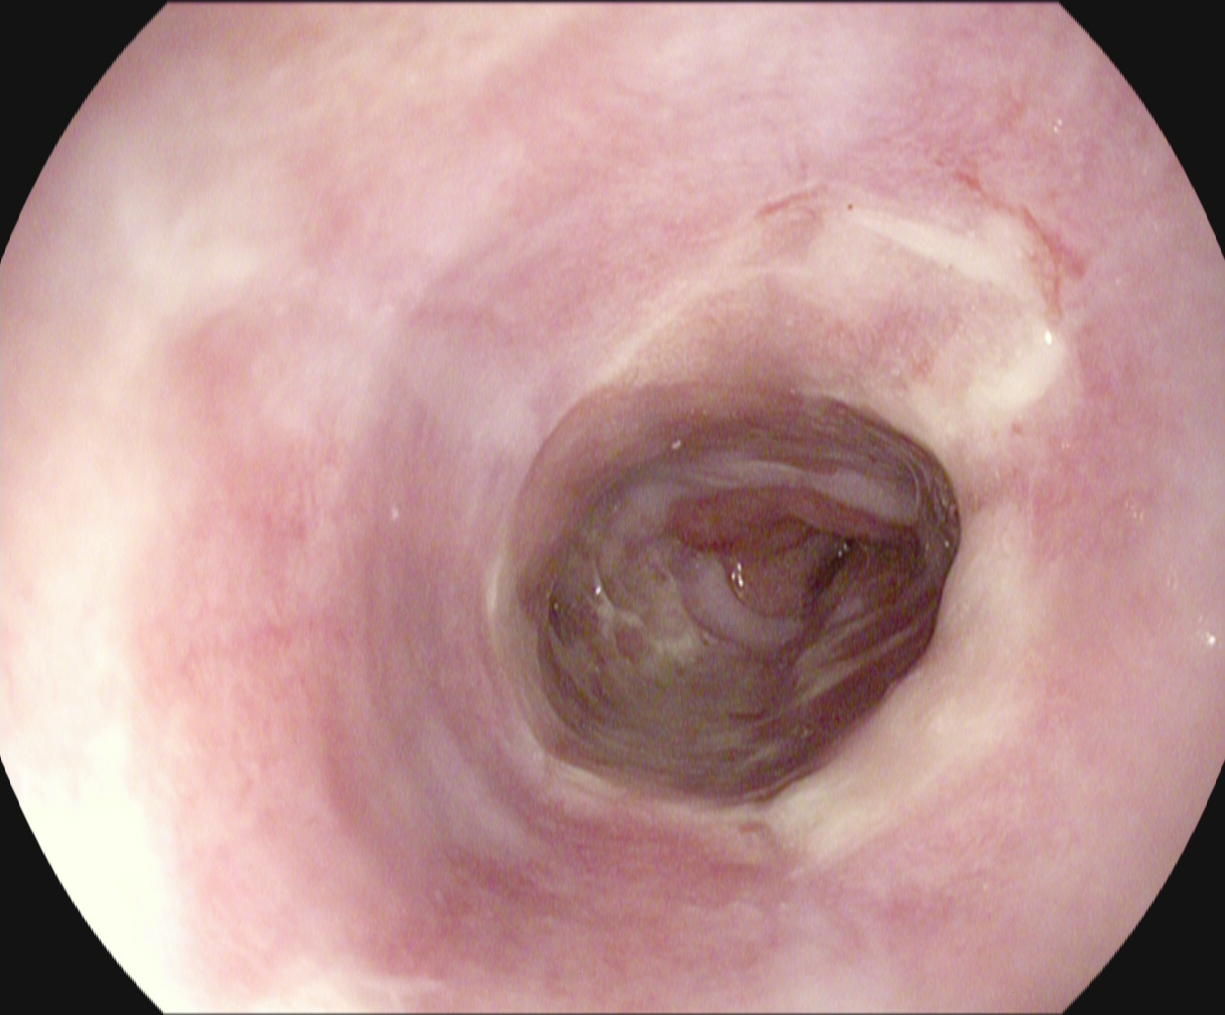PROCEDURE: EGD.
FINDINGS: Reflux esophagitis, Los Angeles grade B–D.